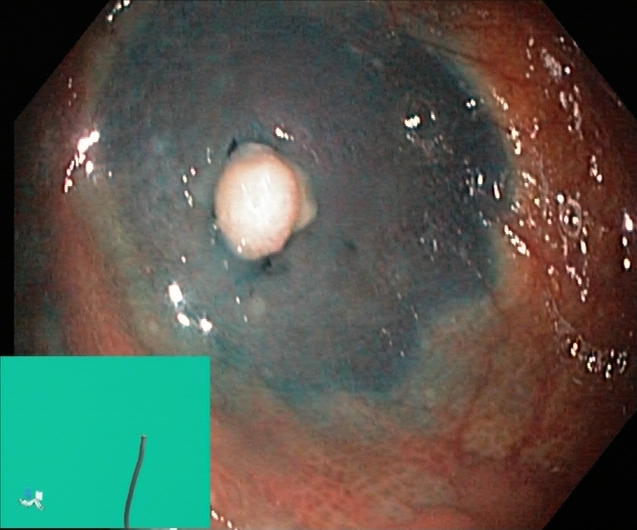Colonoscopy — dyed and lifted polyp (pre-resection).